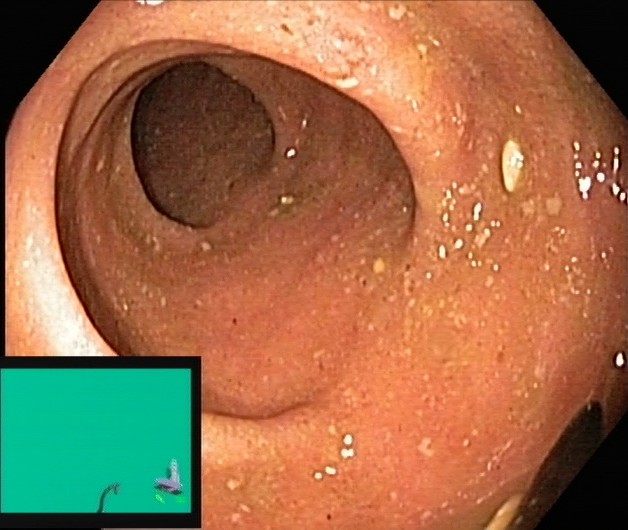Endoscopic image of the lower GI tract showing UC, Mayo endoscopic subscore 2.